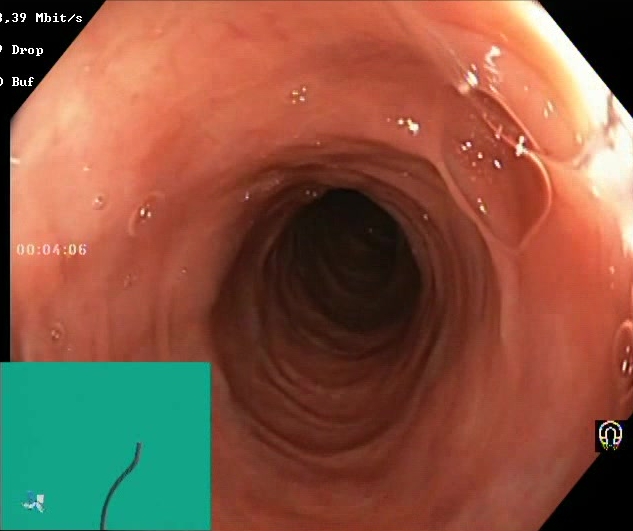Colonoscopy. Mucosal-view quality. Finding: Boston Bowel Preparation Scale score 2–3 (adequate preparation).